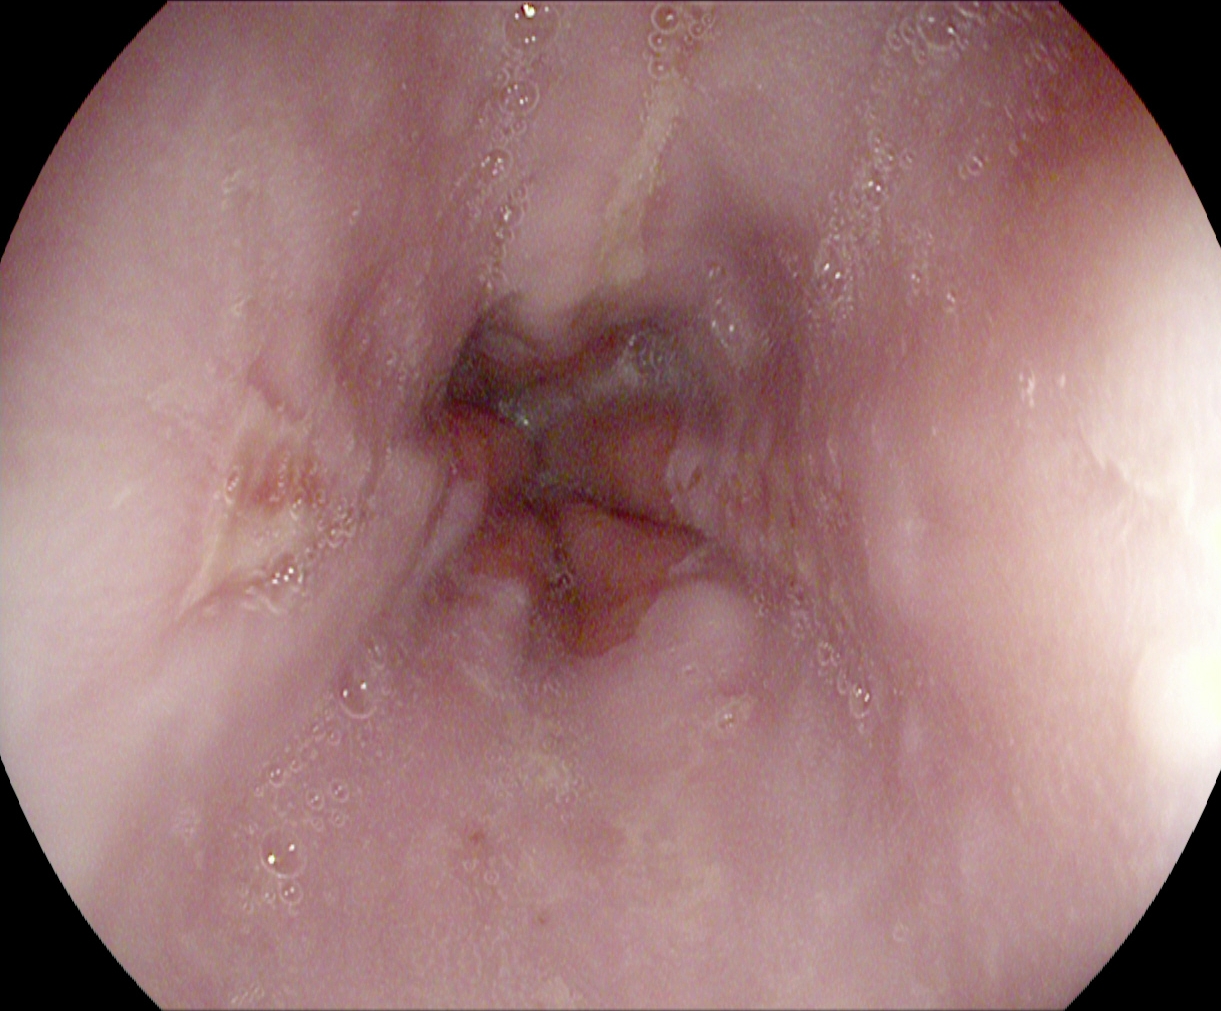This endoscopy frame shows reflux esophagitis, Los Angeles grade B–D.